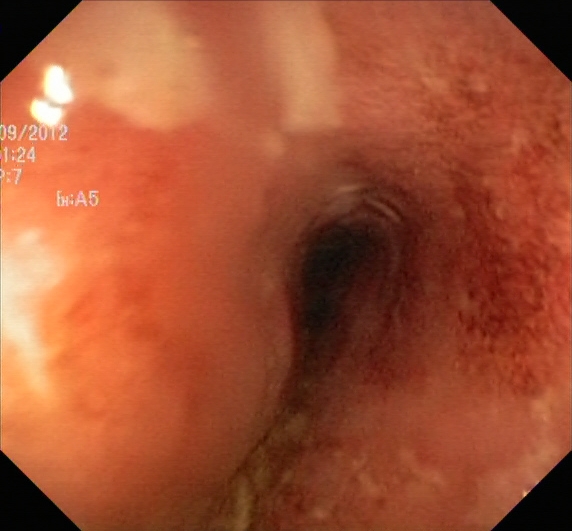{"modality": "colonoscopy", "finding": "ulcerative colitis, Mayo endoscopic subscore 2"}